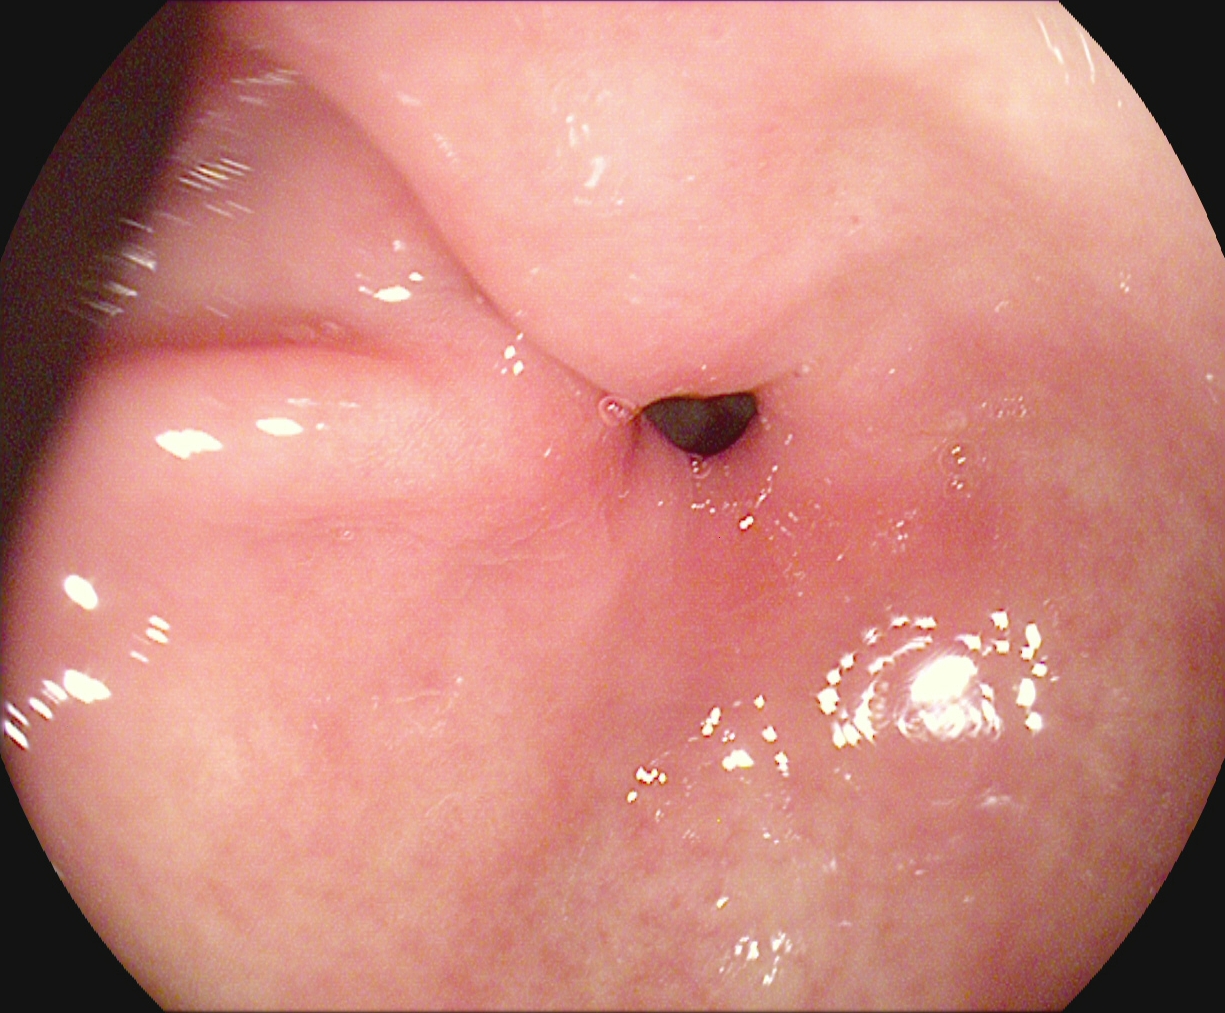PROCEDURE: EGD.
CATEGORY: Anatomical landmark.
FINDINGS: Pylorus.